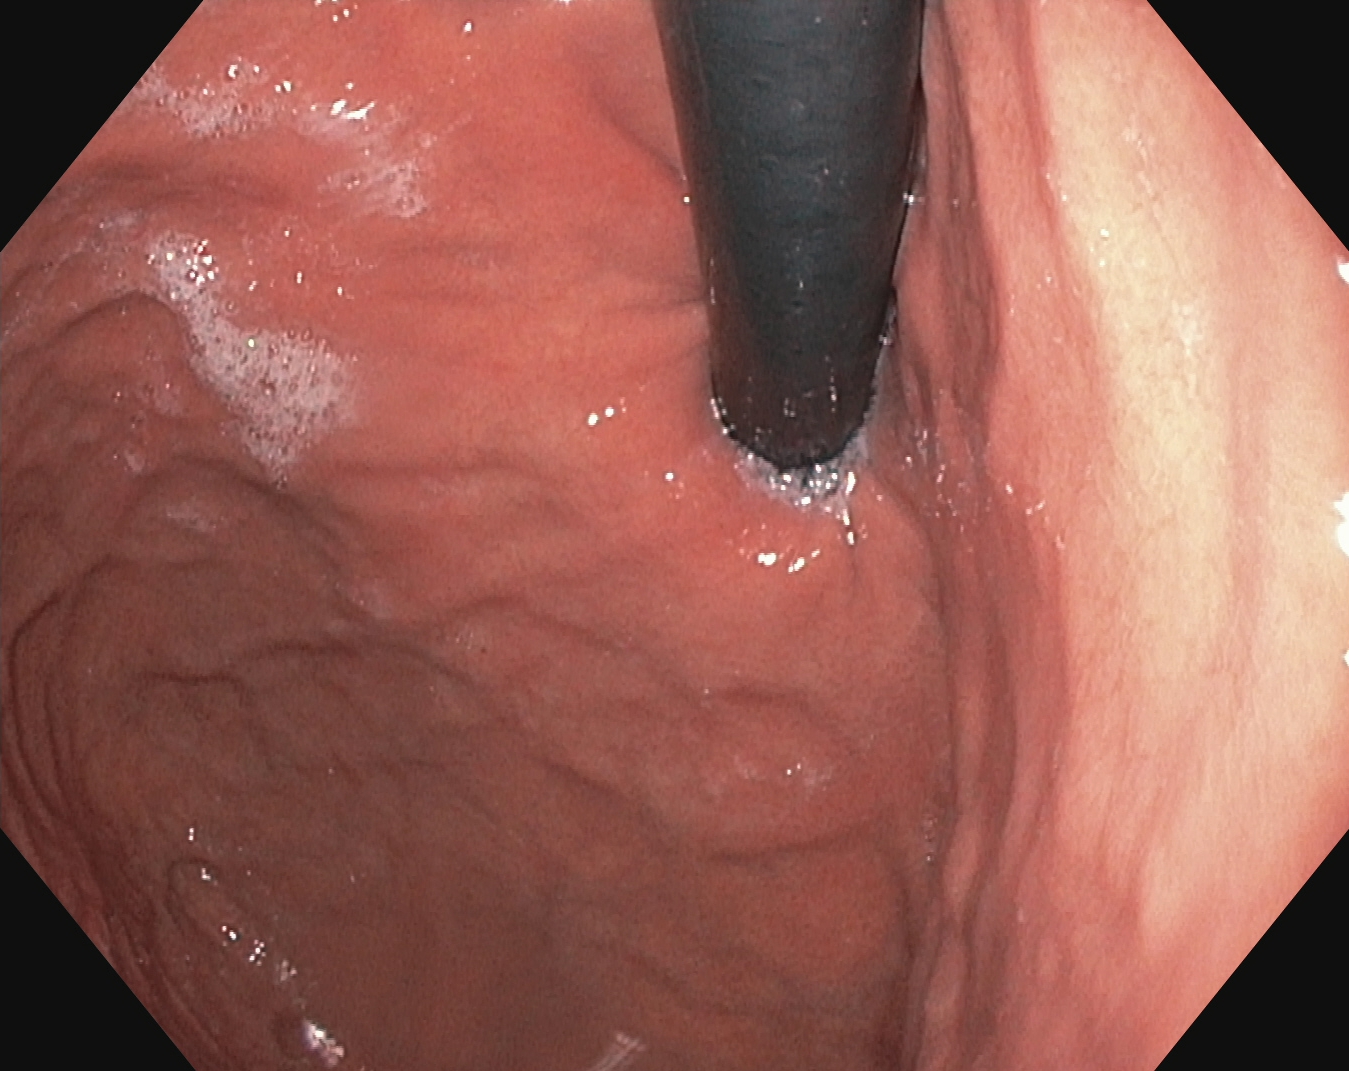stomach in retroflexion.